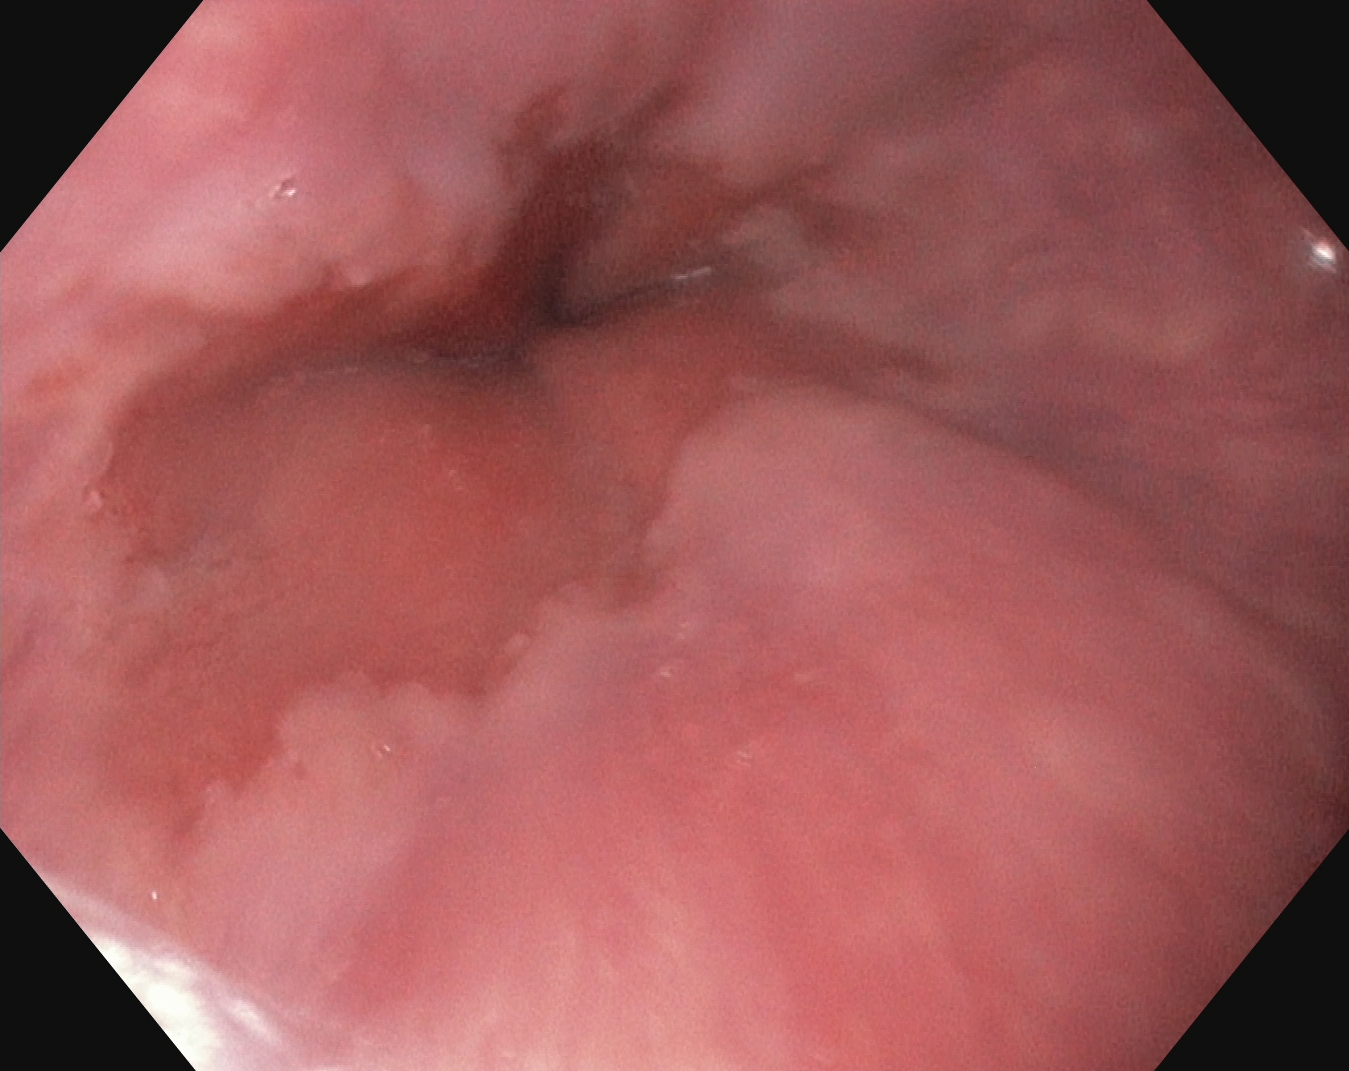Z-line (gastroesophageal junction).